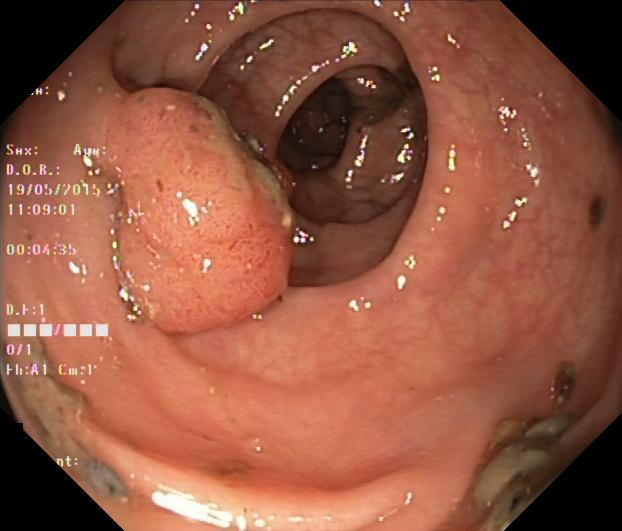PROCEDURE: Colonoscopy.
CATEGORY: Pathological finding.
FINDINGS: Colorectal polyp(s).